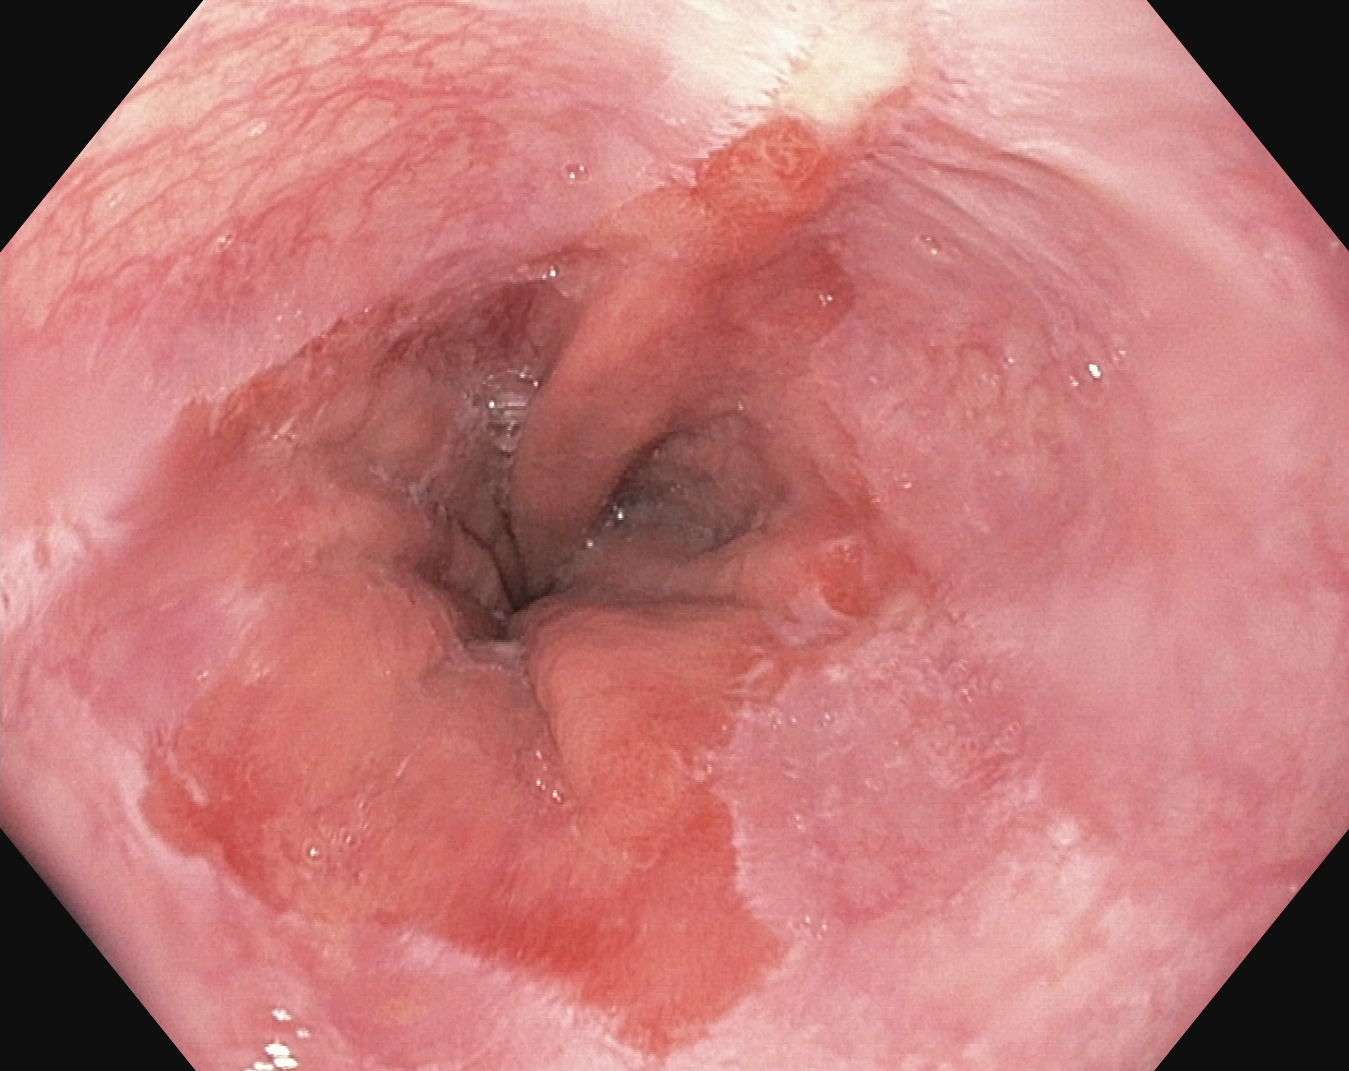PROCEDURE: EGD.
FINDINGS: Reflux esophagitis, LA grade A.